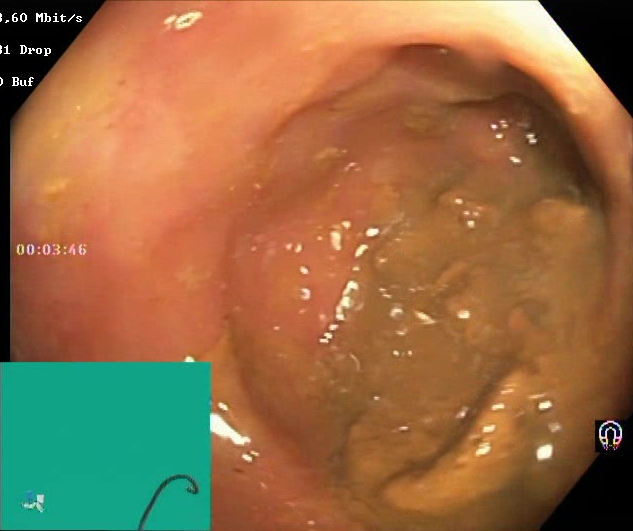modality: colonoscopy; tract: lower GI tract; finding: Boston Bowel Preparation Scale score 0–1 (inadequate preparation)